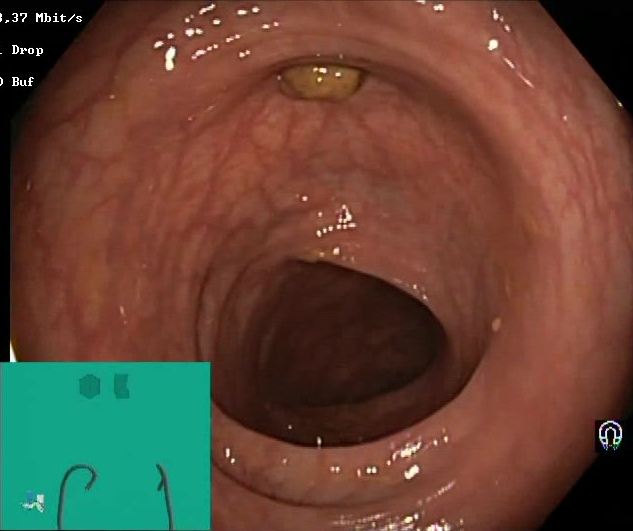modality: lower gastrointestinal endoscopy; finding: Boston Bowel Preparation Scale score 2–3 (adequate preparation)